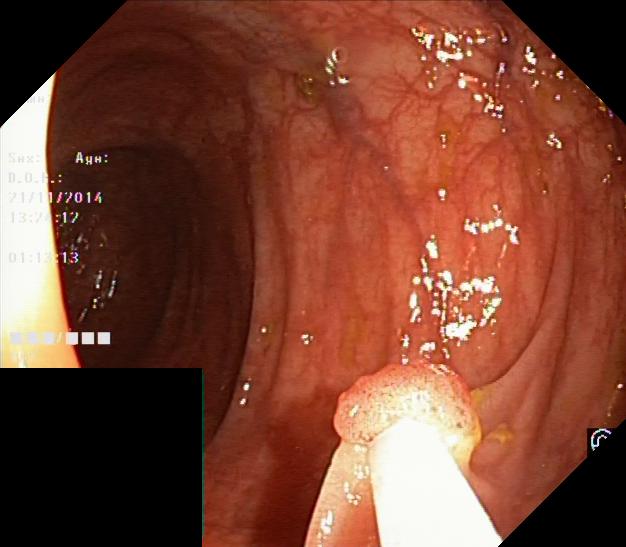modality: lower gastrointestinal endoscopy; category: pathological finding; finding: colorectal polyp(s)